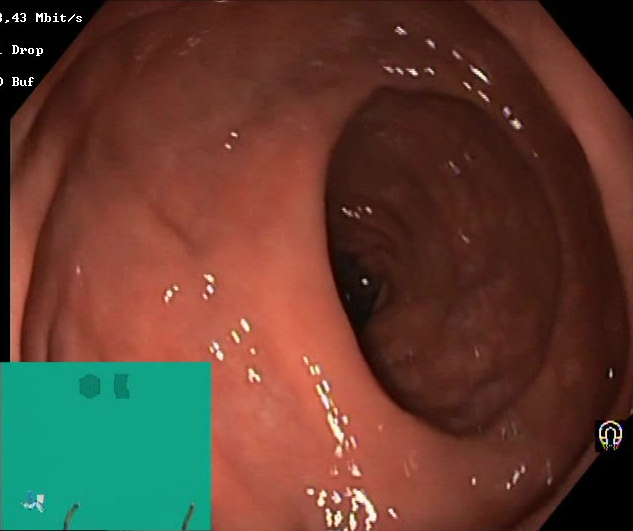Colonoscopy. Mucosal-view quality. Finding: BBPS score 2–3 (adequate preparation).